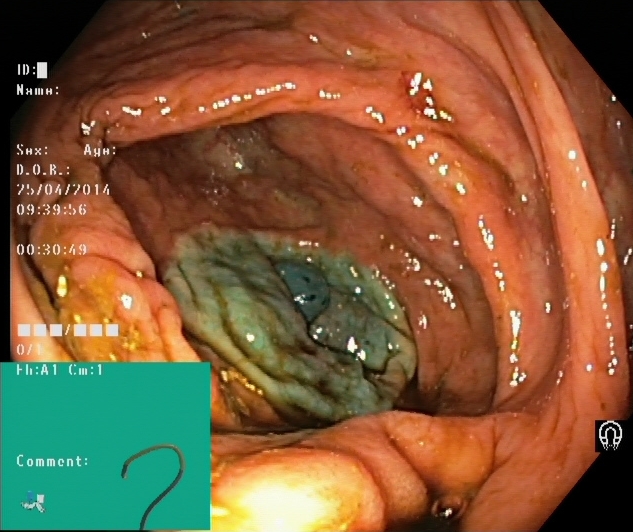PROCEDURE: Lower-GI endoscopy.
FINDINGS: Dyed resection margins (post-polypectomy).